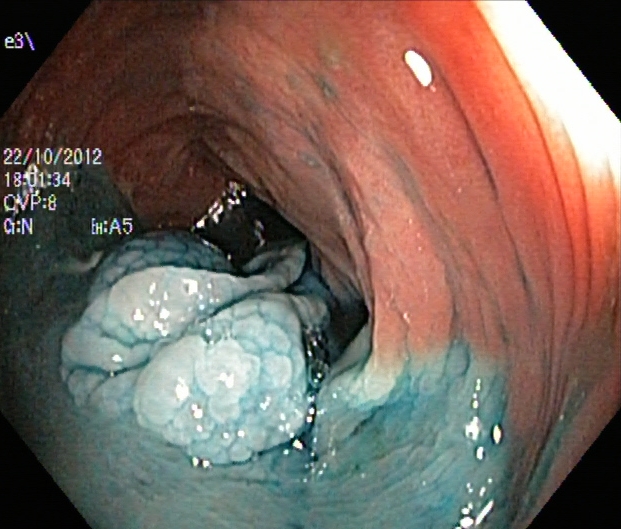Lower gastrointestinal endoscopy — dyed and lifted polyp (pre-resection).